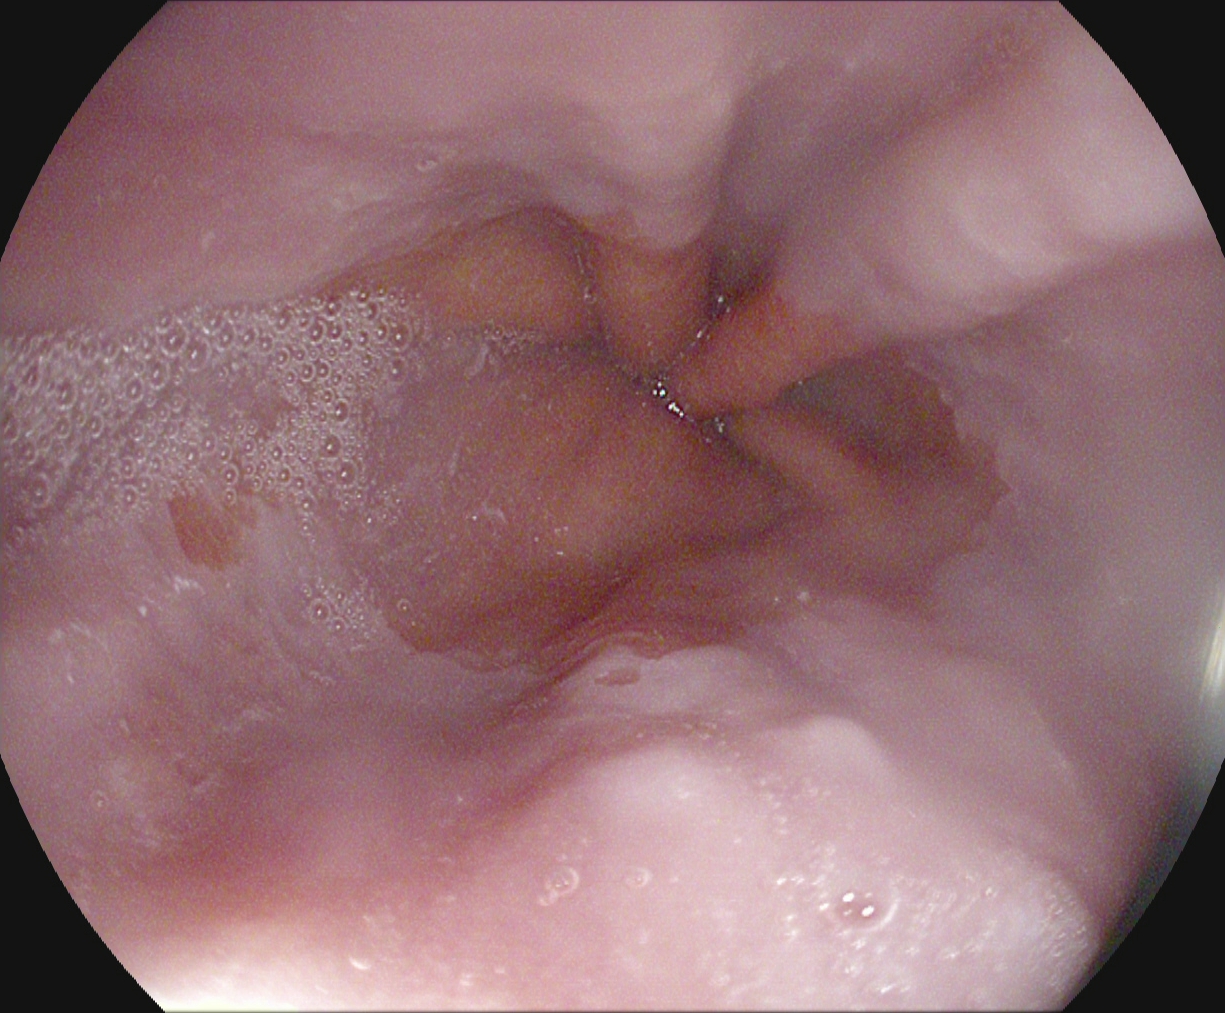modality: esophagogastroduodenoscopy
finding: Z-line (gastroesophageal junction)